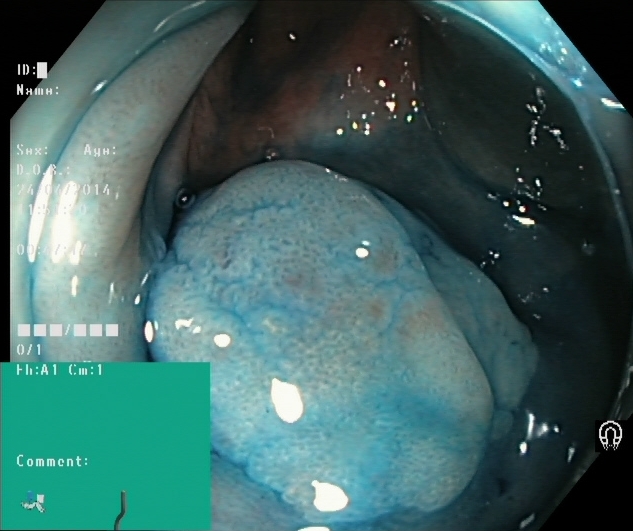Endoscopy image showing dyed and lifted polyp (pre-resection).